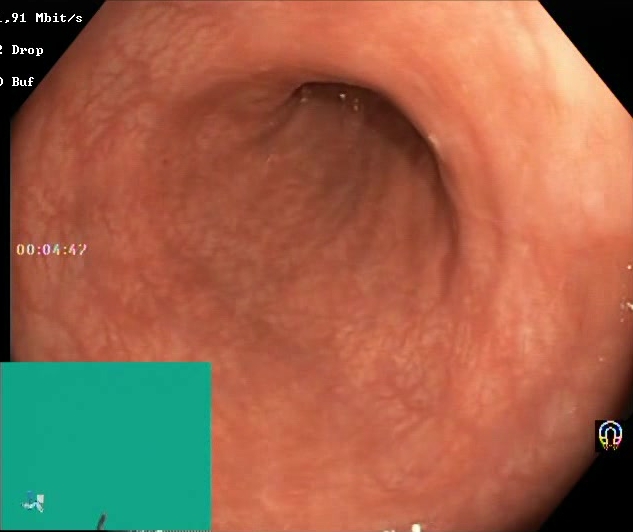{"modality": "colonoscopy", "category": "mucosal-view quality", "finding": "Boston Bowel Preparation Scale score 2\u20133 (adequate preparation)"}